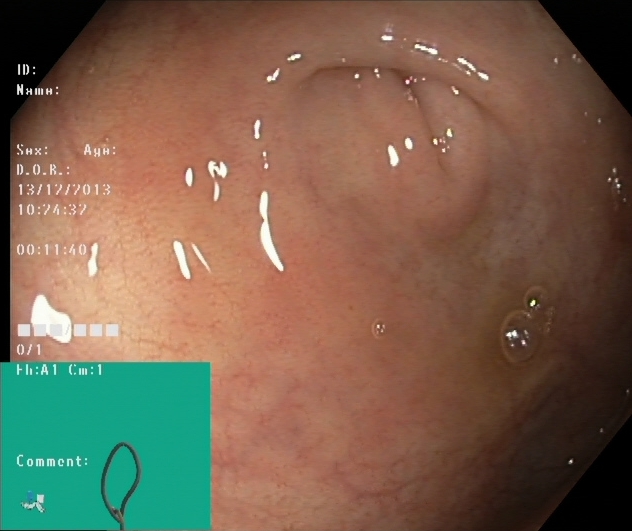This endoscopic image of the lower GI tract shows cecum.